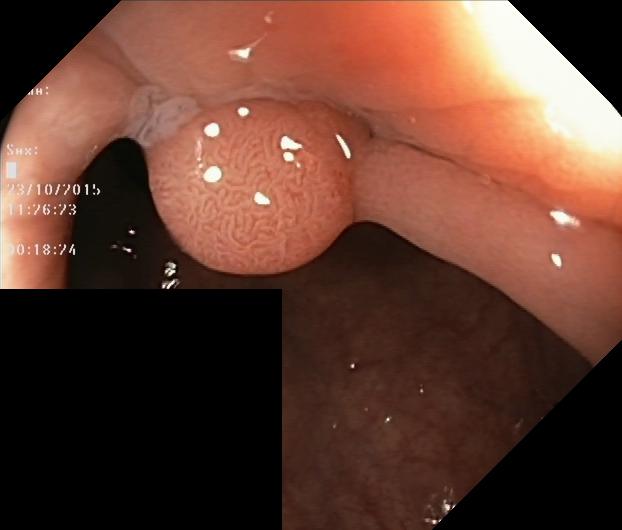Lower gastrointestinal endoscopy. Tract: lower GI tract. Finding: colorectal polyp(s).